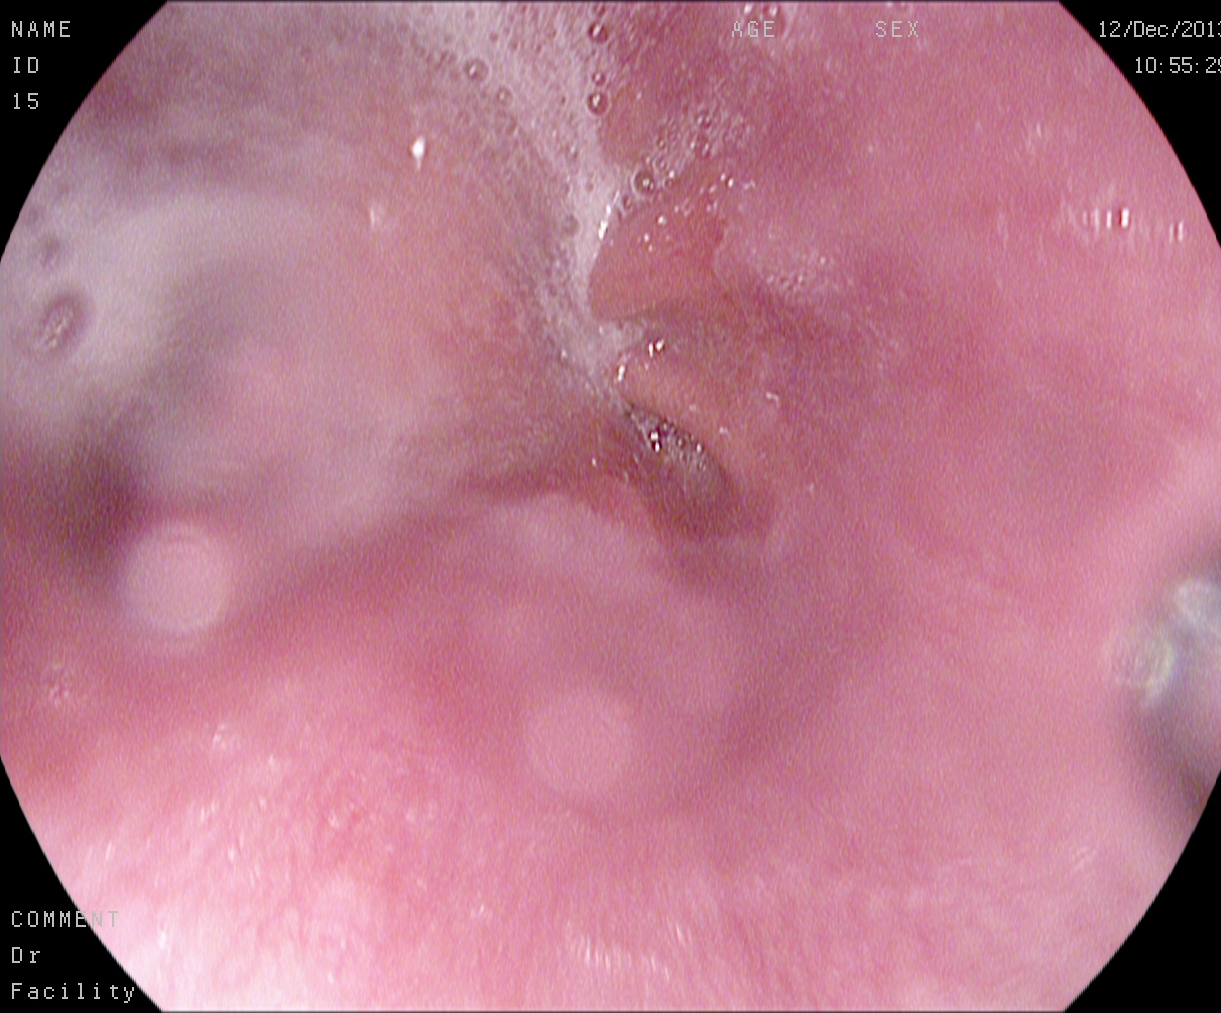EGD. Tract: upper GI tract. Anatomical landmark. Finding: Z-line (gastroesophageal junction).